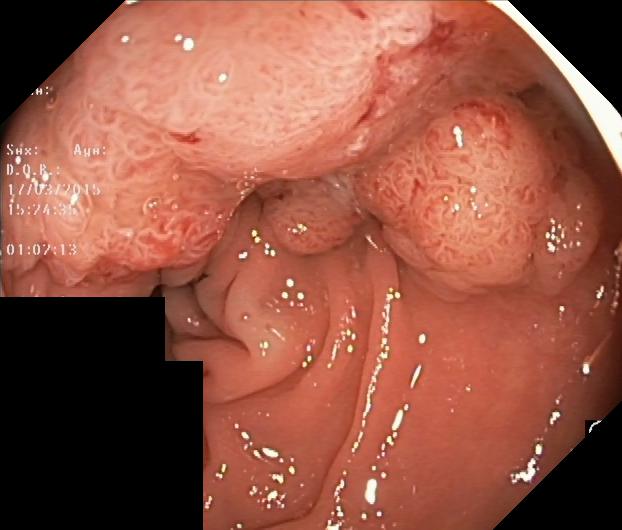{"modality": "colonoscopy", "tract": "lower GI tract", "finding": "colorectal polyp(s)"}